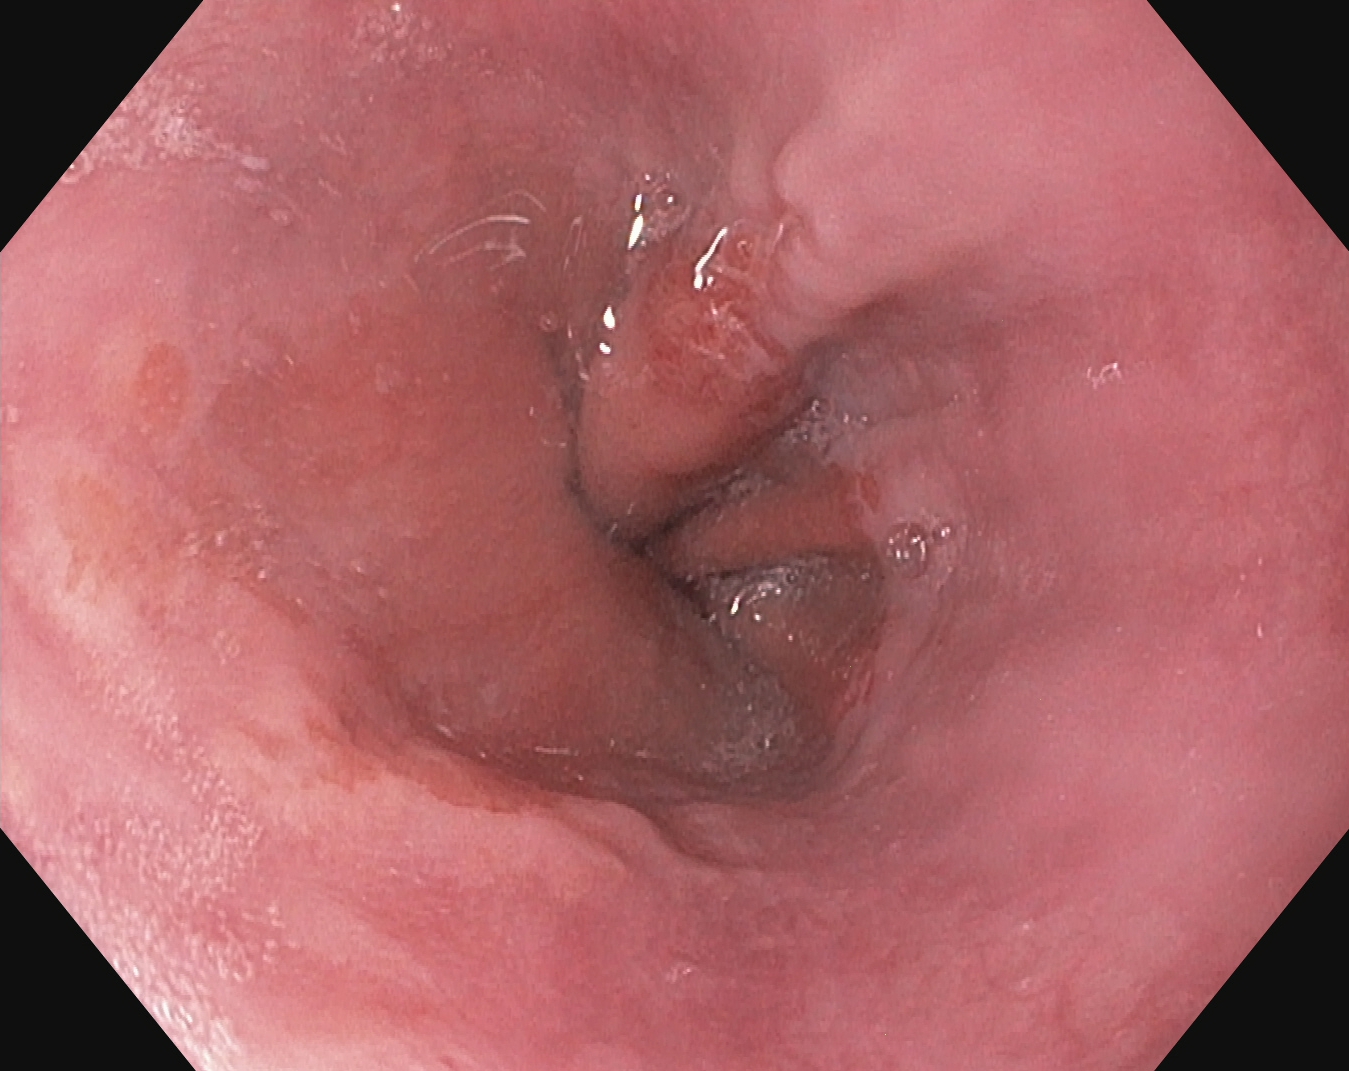Reflux esophagitis, Los Angeles grade A.